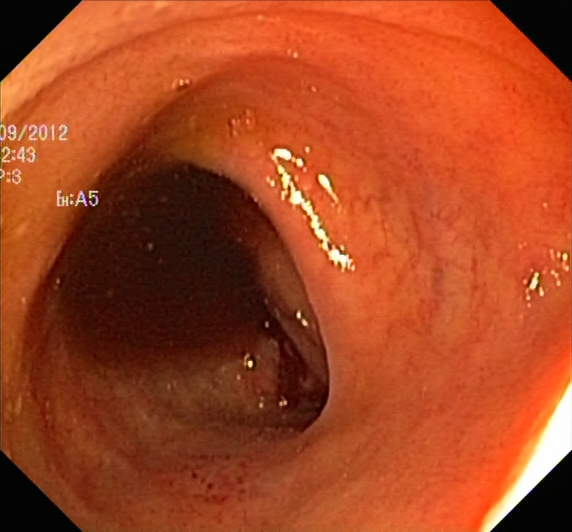Colonoscopy. Tract: lower GI tract. Finding: UC, Mayo endoscopic subscore 1.